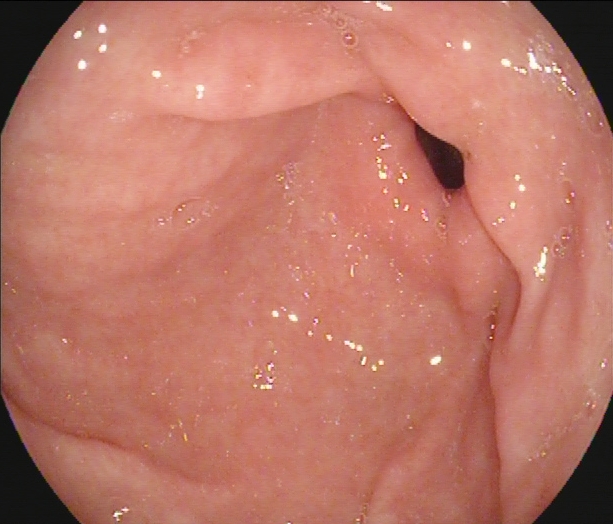GI endoscopy image of the upper GI tract showing pylorus.